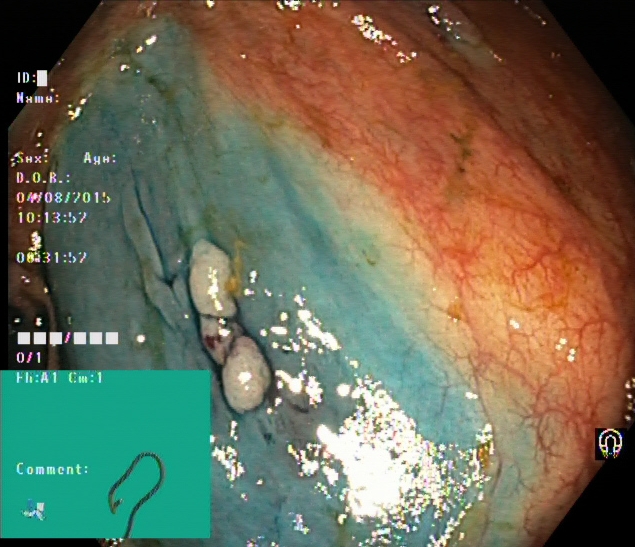Lower gastrointestinal endoscopy image showing dyed and lifted polyp (pre-resection).